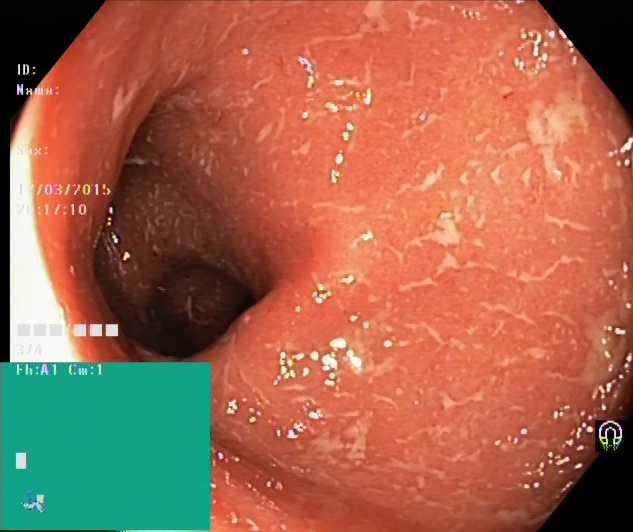modality: lower-GI endoscopy; tract: lower GI tract; finding: ulcerative colitis, Mayo endoscopic subscore 2